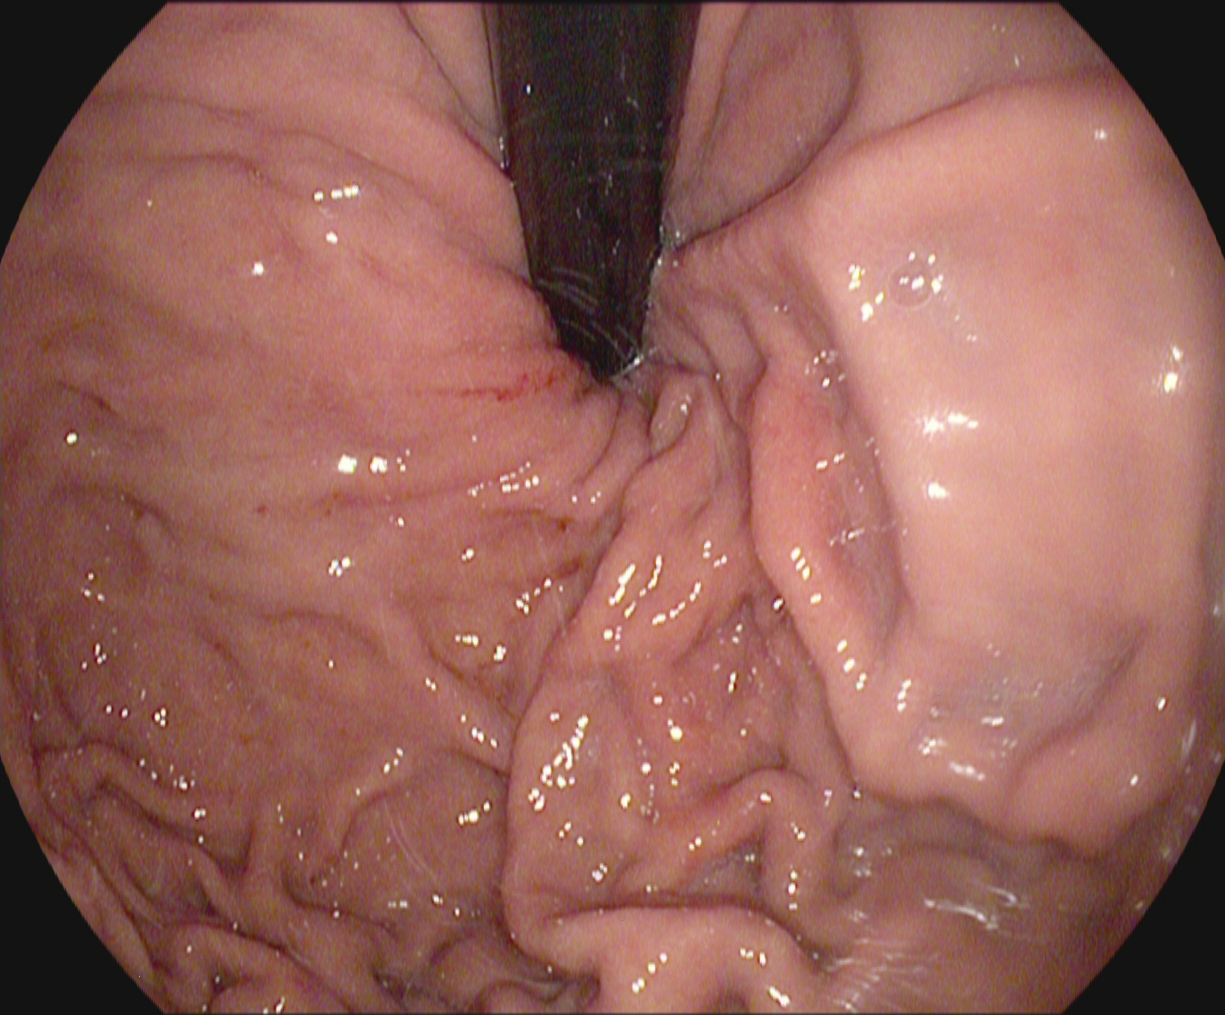modality: gastroscopy; tract: upper GI tract; category: anatomical landmark; finding: stomach in retroflexion